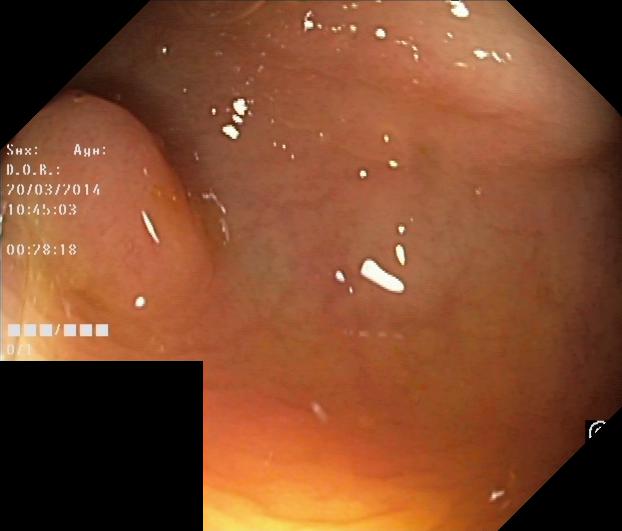Lower-GI endoscopy — colorectal polyp(s).